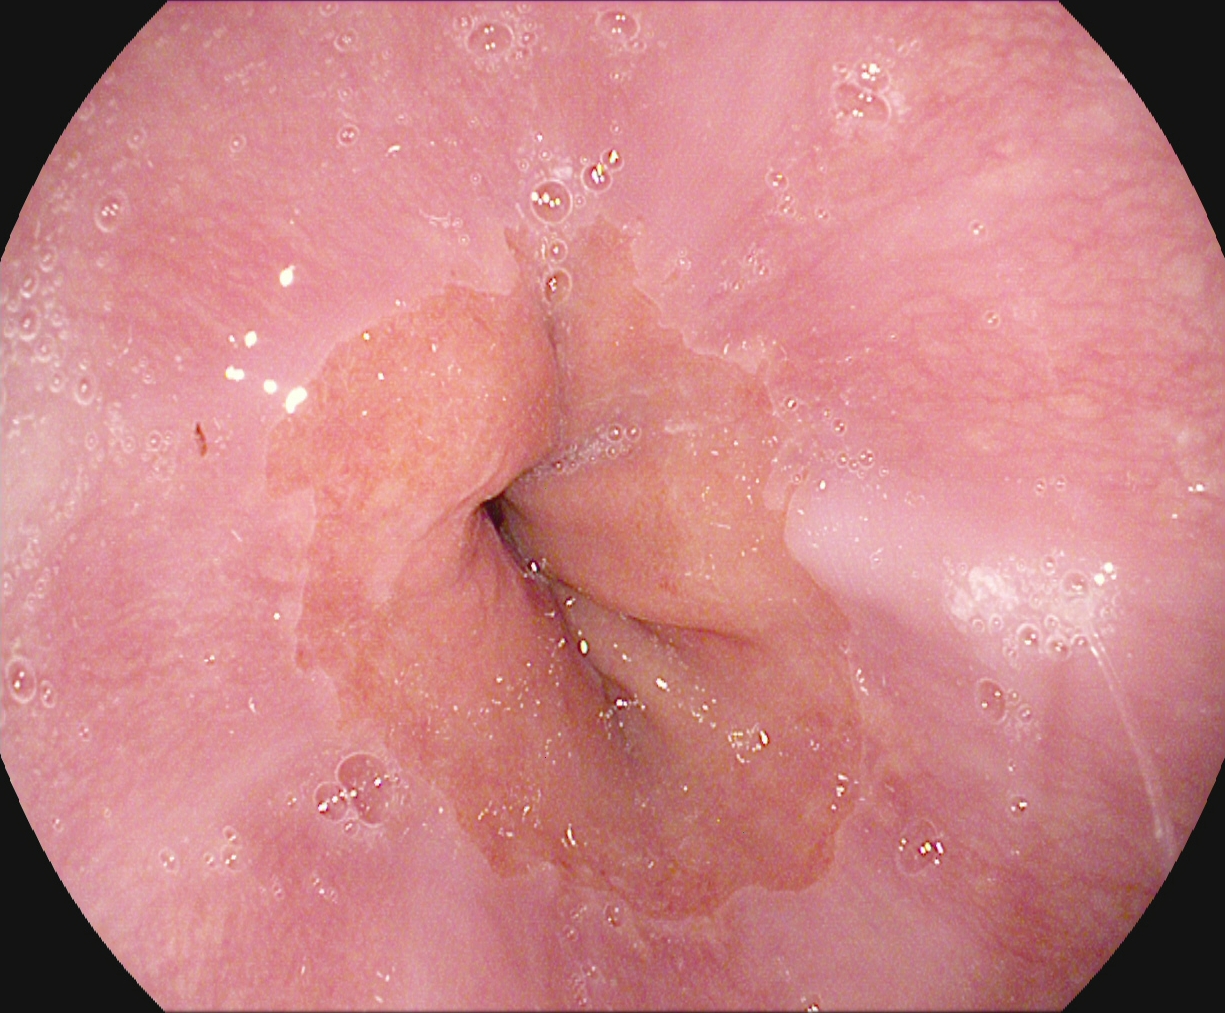Z-line (gastroesophageal junction).